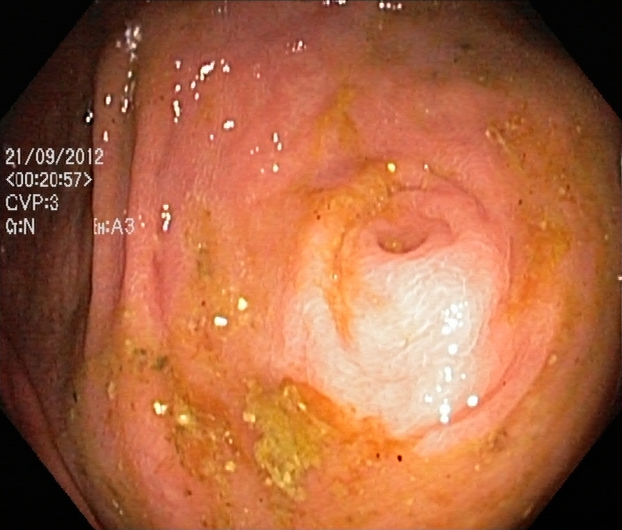{"modality": "colonoscopy", "tract": "lower GI tract", "category": "anatomical landmark", "finding": "cecum"}